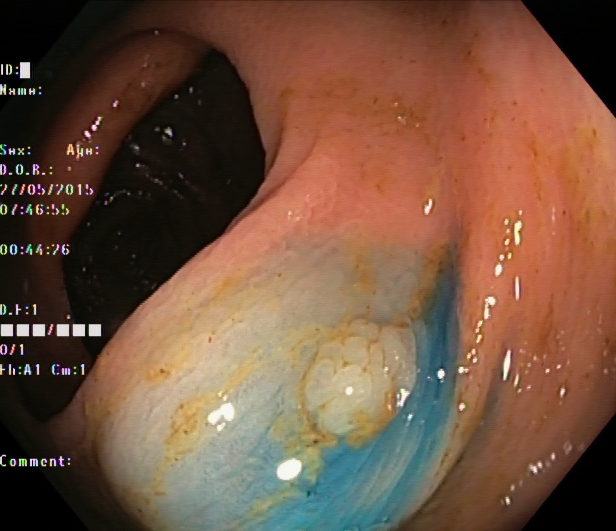{"modality": "lower gastrointestinal endoscopy", "tract": "lower GI tract", "finding": "dyed and lifted polyp (pre-resection)"}